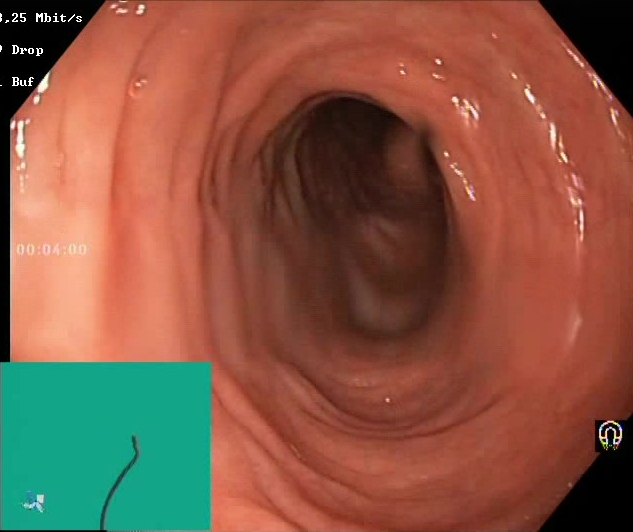Colonoscopy. Tract: lower GI tract. Finding: Boston Bowel Preparation Scale score 2–3 (adequate preparation).